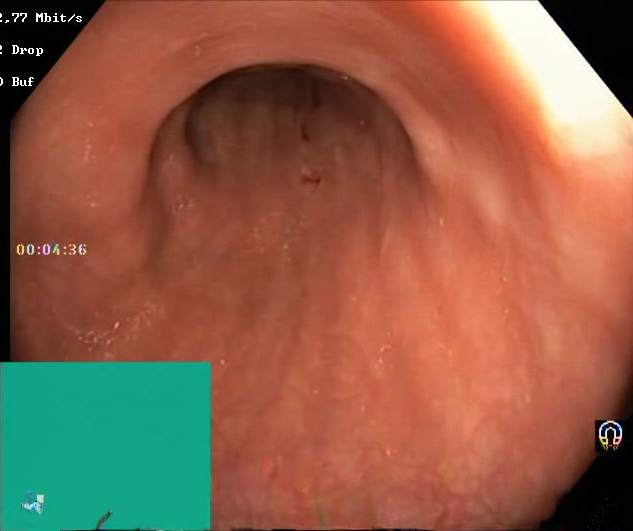modality: lower gastrointestinal endoscopy | tract: lower GI tract | finding: Boston Bowel Preparation Scale score 2–3 (adequate preparation)